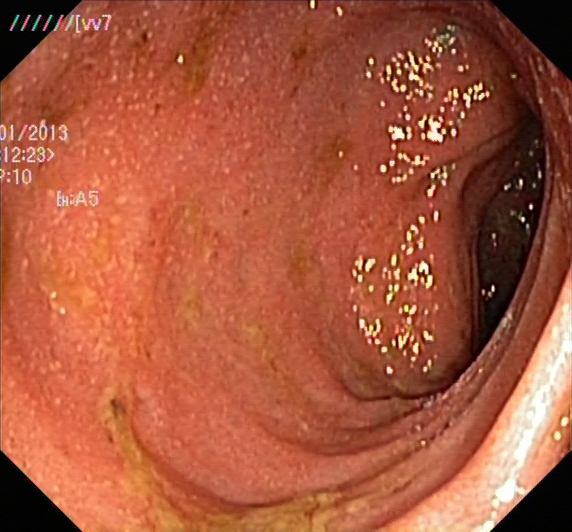modality: lower-GI endoscopy | finding: ulcerative colitis, Mayo endoscopic subscore 2